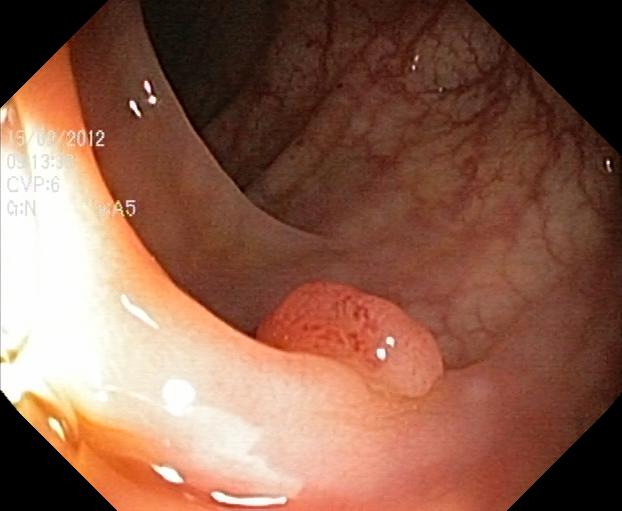Lower gastrointestinal endoscopy — colorectal polyp(s).